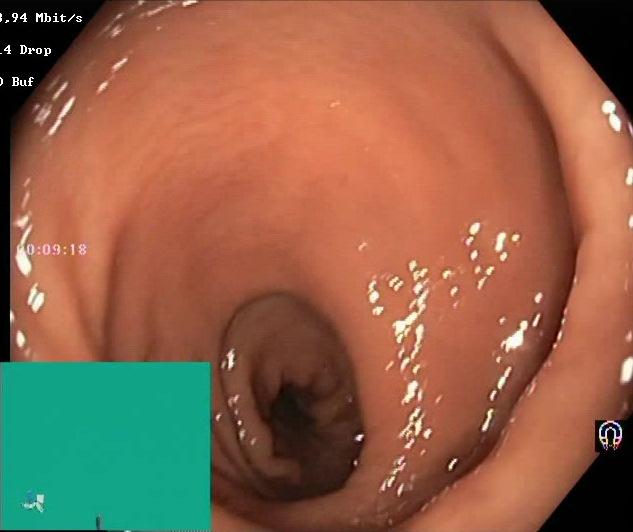Boston Bowel Preparation Scale score 2–3 (adequate preparation).